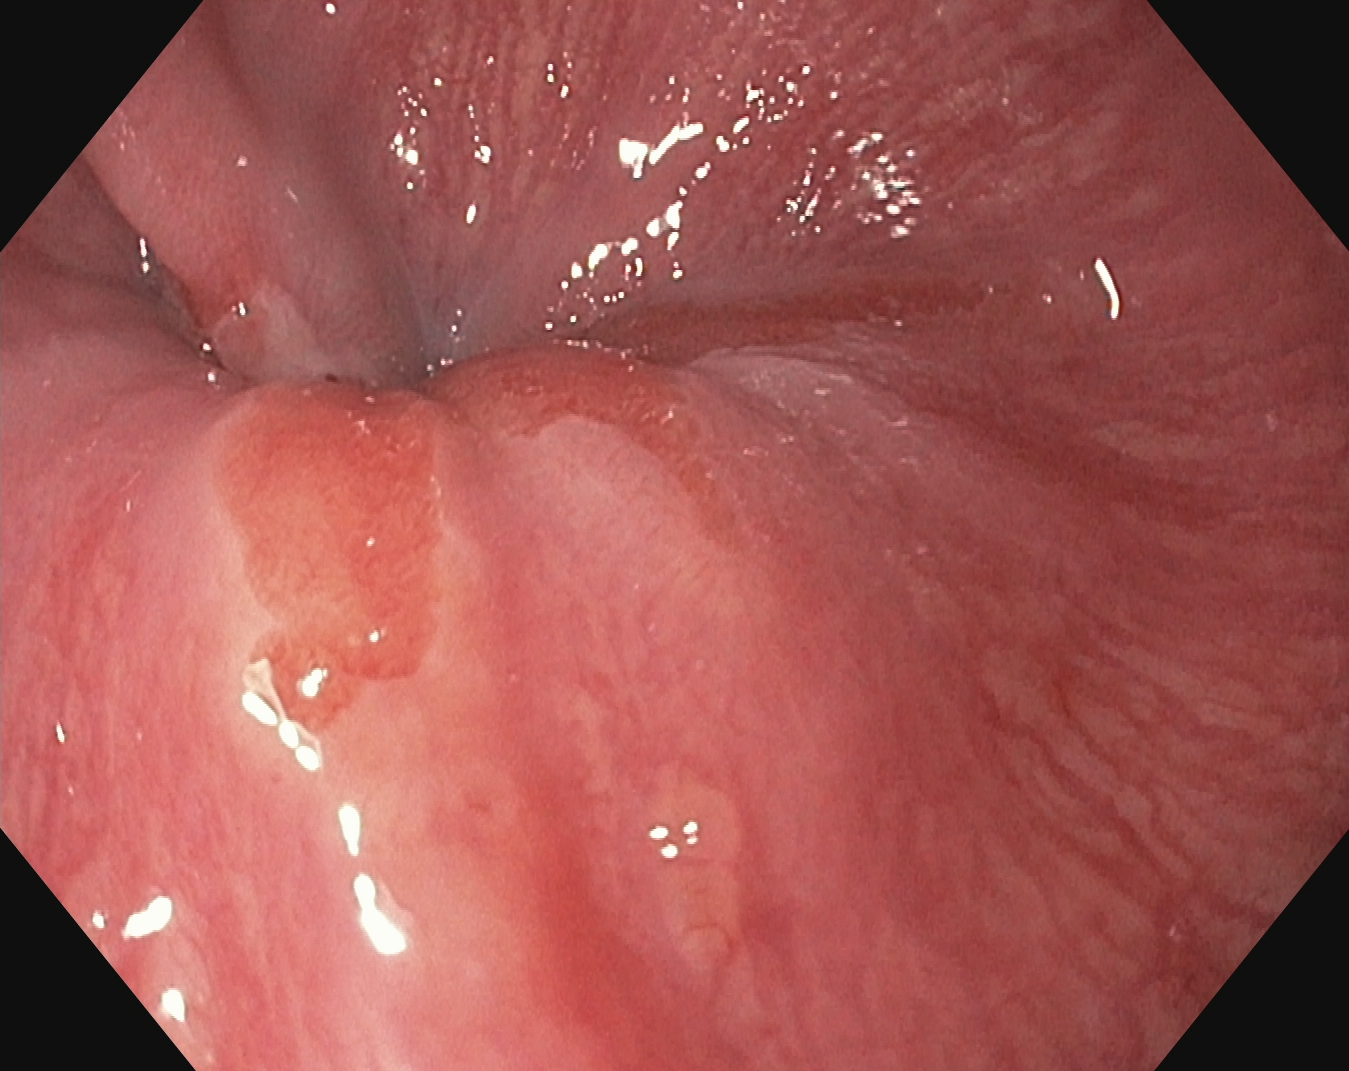Upper-GI endoscopy. Finding: Z-line (gastroesophageal junction).